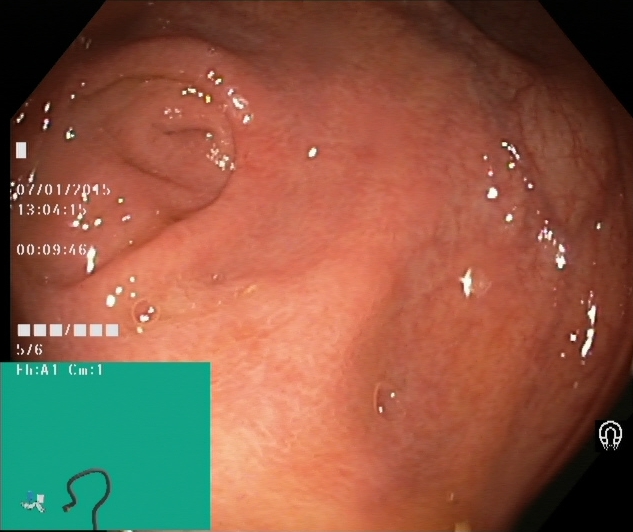Endoscopic image of the lower GI tract showing cecum.